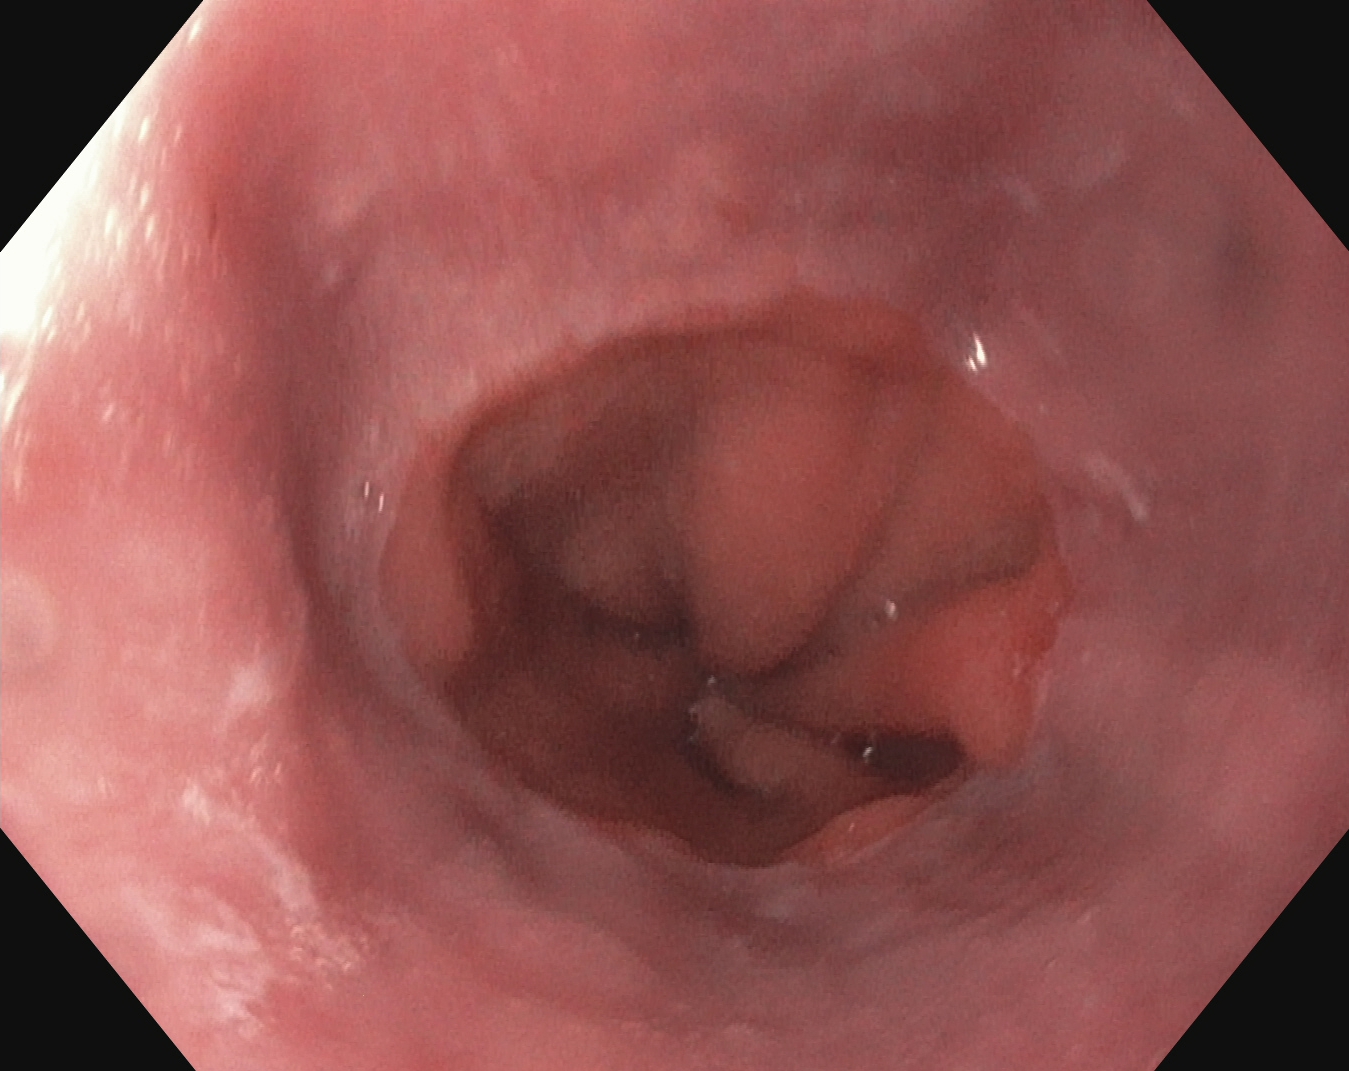Z-line (gastroesophageal junction).